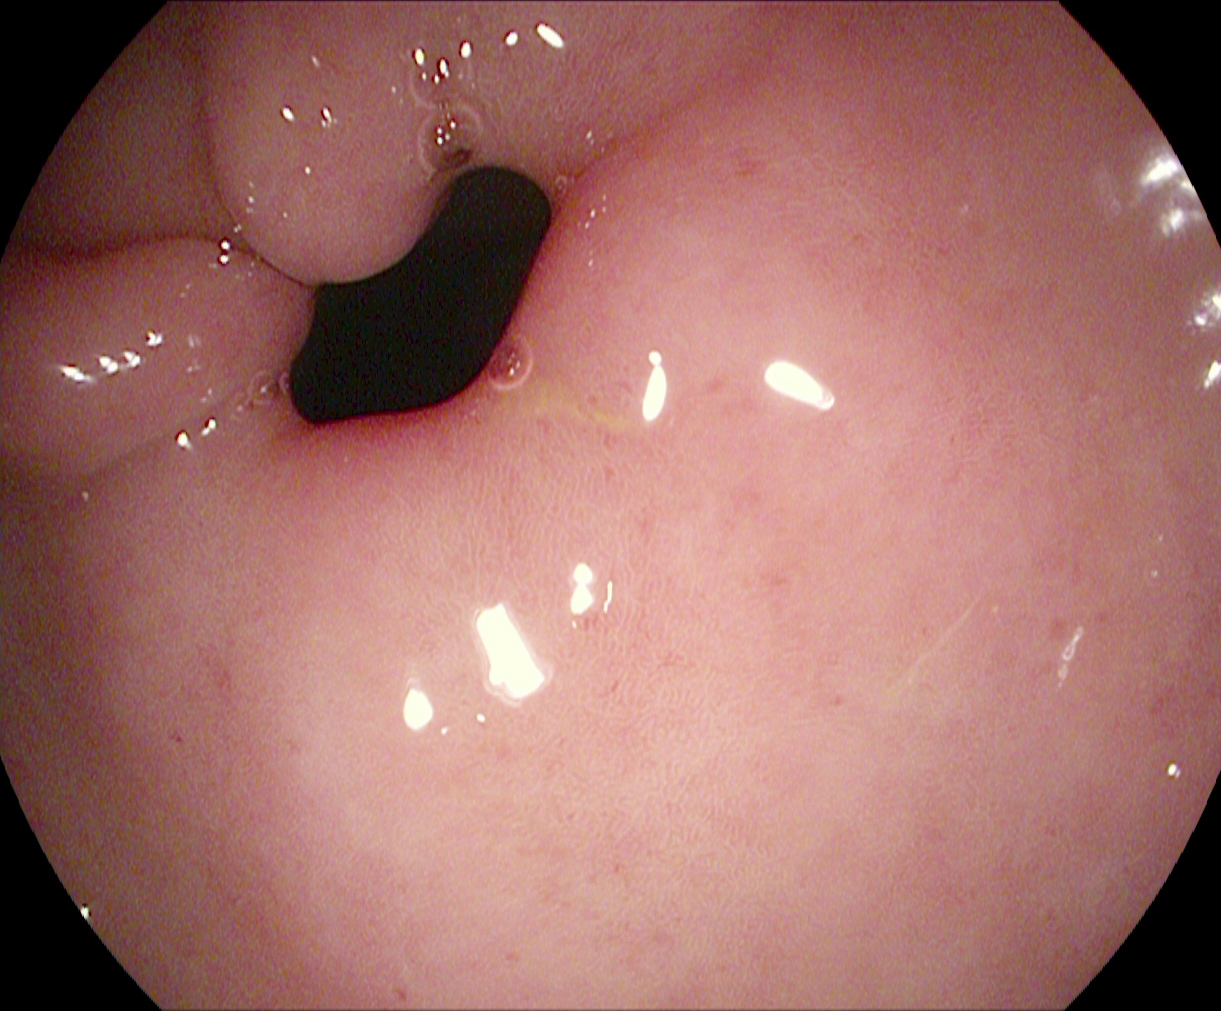This endoscopy frame of the upper GI tract shows pylorus.